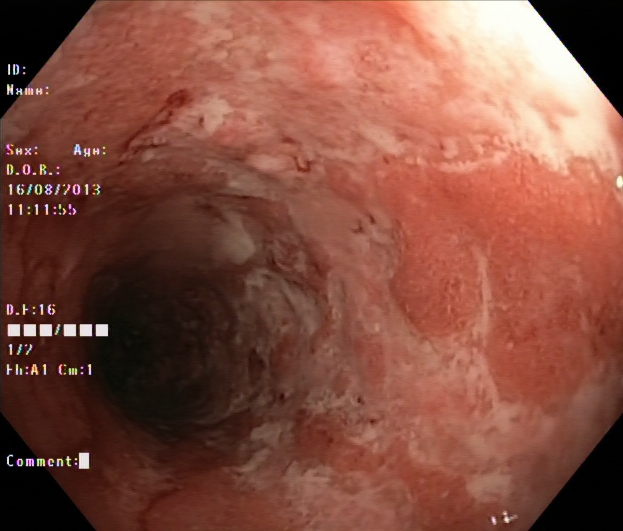Colonoscopy. Tract: lower GI tract. Finding: ulcerative colitis, Mayo endoscopic subscore 3.